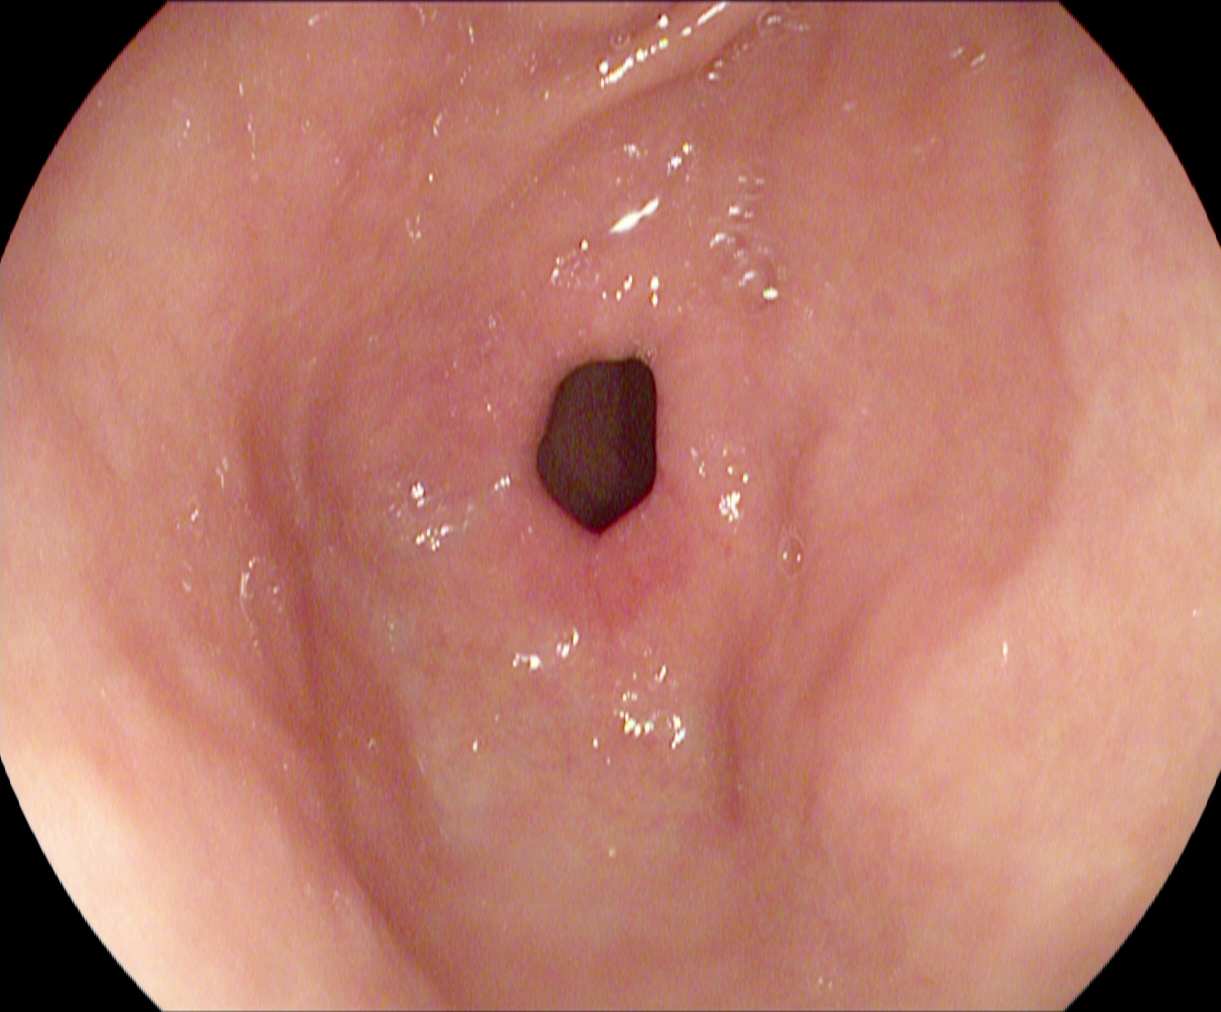This endoscopic image of the upper GI tract shows pylorus.